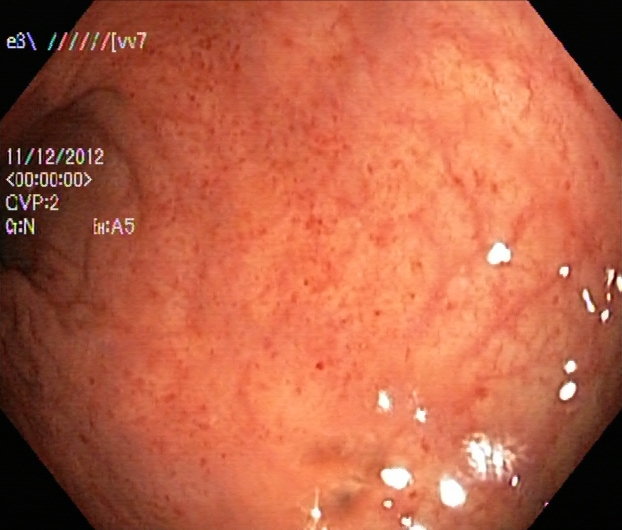modality: lower-GI endoscopy; tract: lower GI tract; category: anatomical landmark; finding: cecum